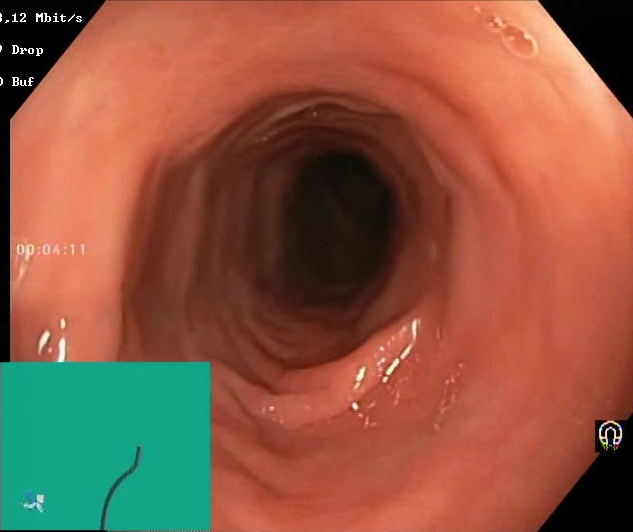Colonoscopy. Mucosal-view quality. Finding: Boston Bowel Preparation Scale score 2–3 (adequate preparation).